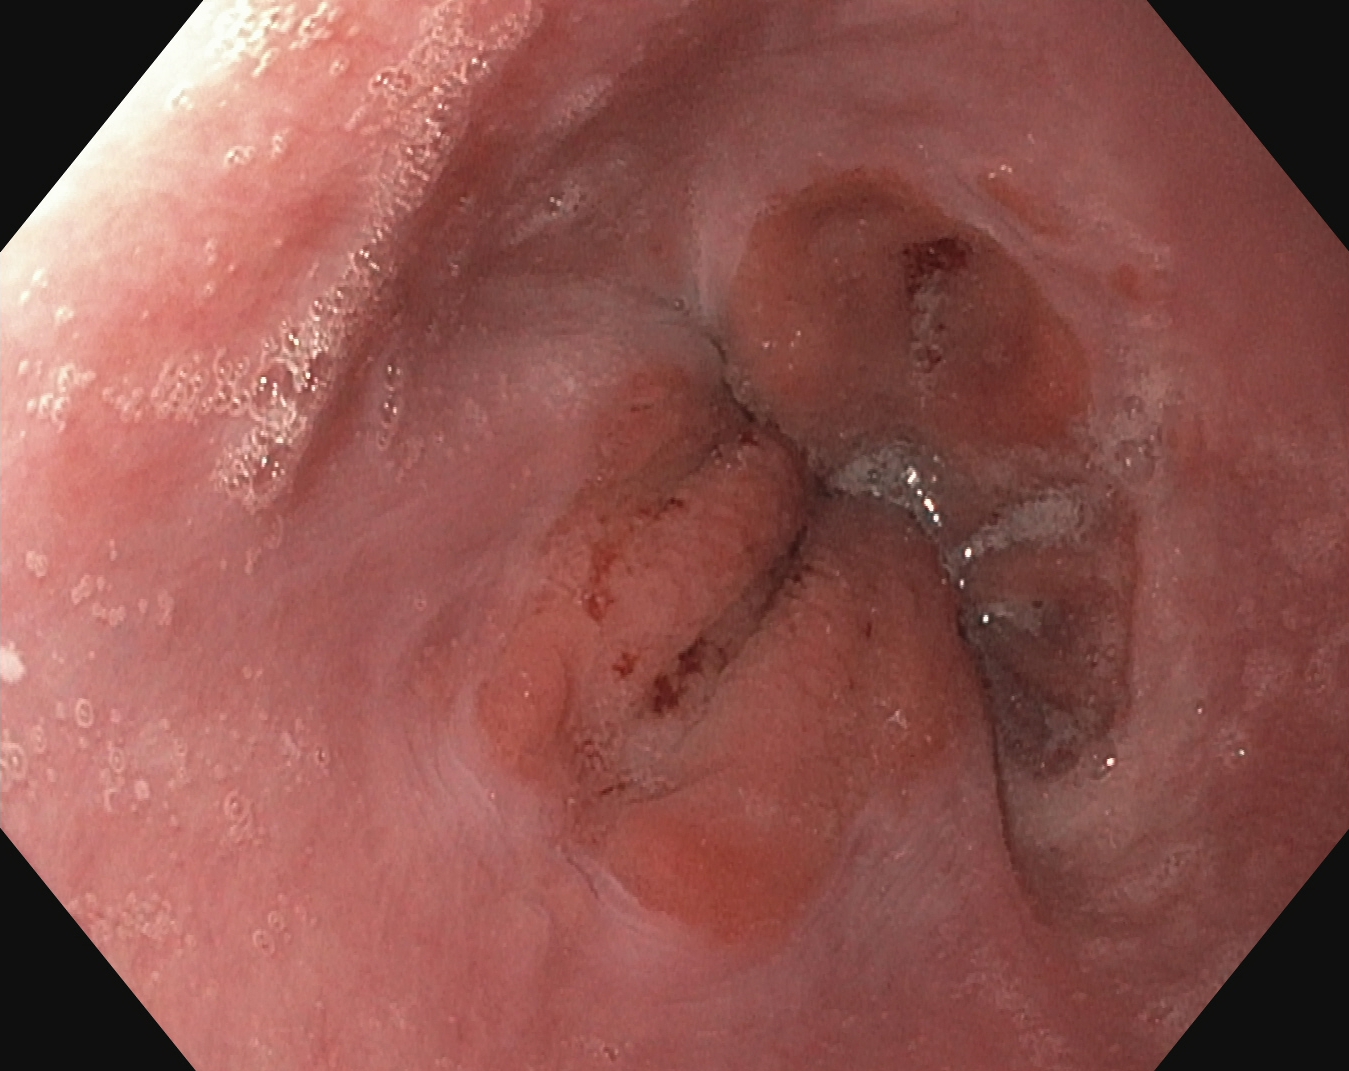Esophagogastroduodenoscopy. Anatomical landmark. Finding: Z-line (gastroesophageal junction).